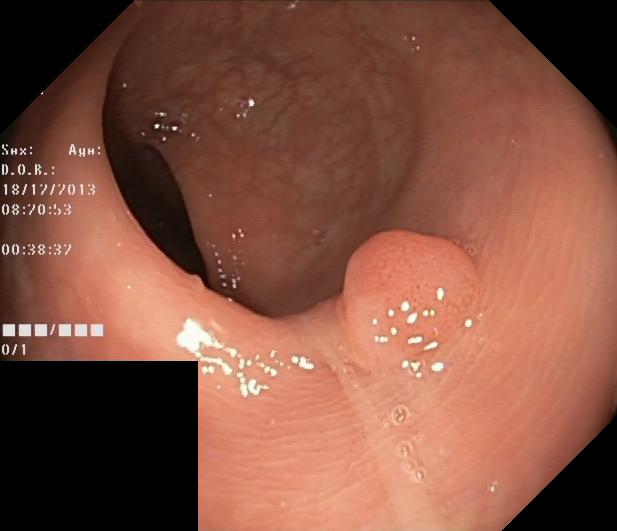This endoscopic image shows colorectal polyp(s).